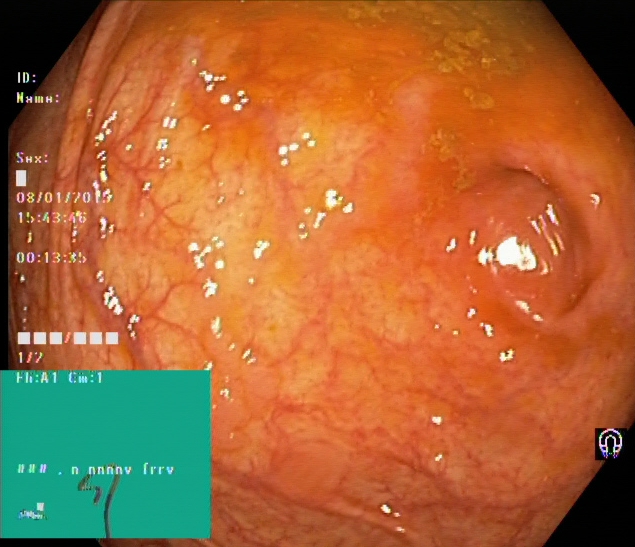modality: lower-GI endoscopy | tract: lower GI tract | category: anatomical landmark | finding: cecum